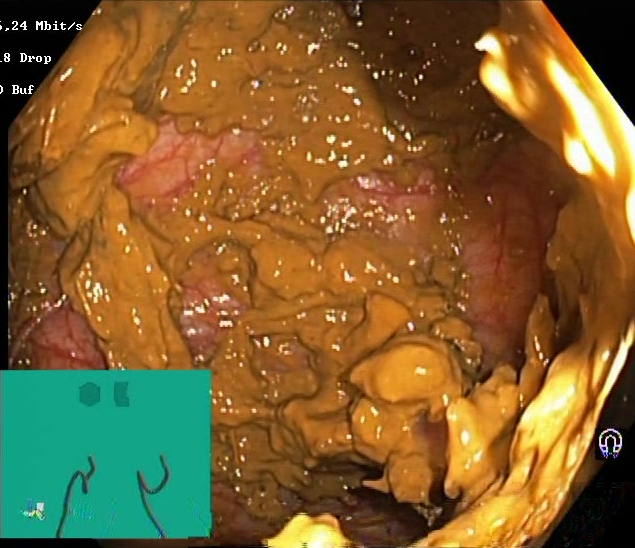PROCEDURE: Colonoscopy.
FINDINGS: Boston Bowel Preparation Scale score 0–1 (inadequate preparation).